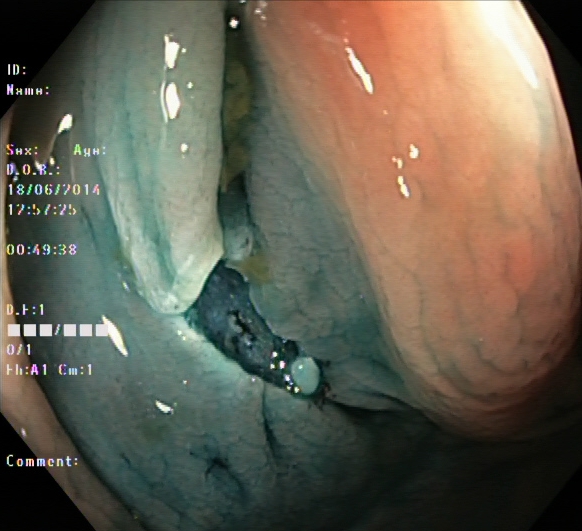Lower-GI endoscopy — dyed resection margins (post-polypectomy).